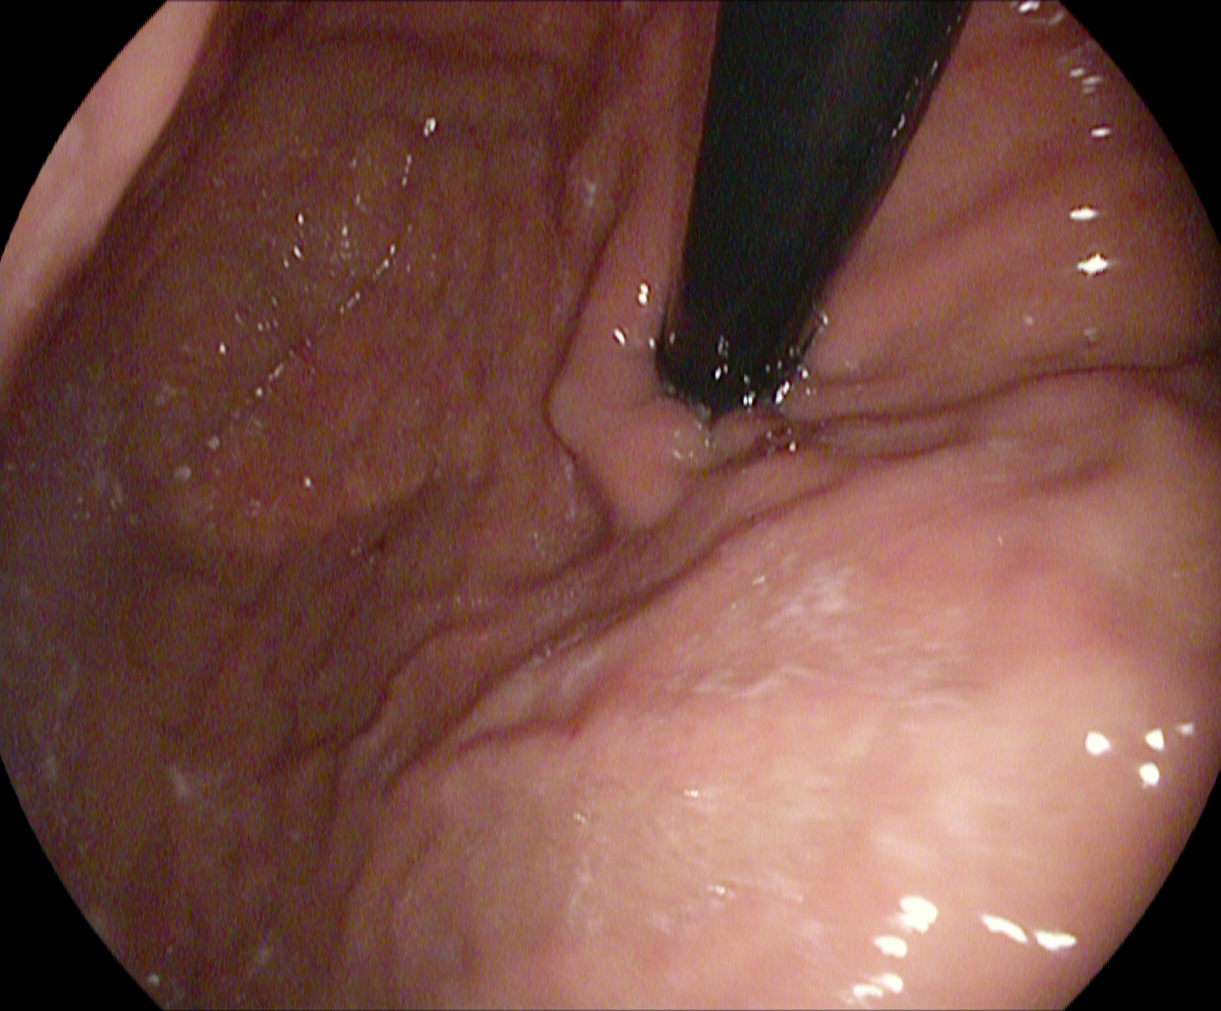Endoscopy image showing stomach in retroflexion.